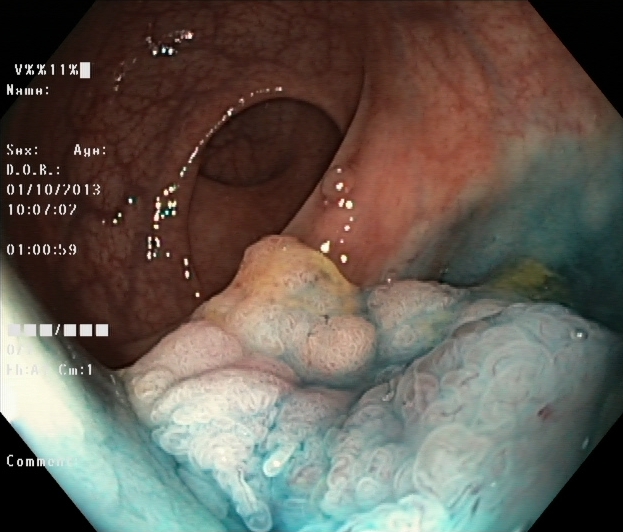This endoscopy frame of the lower GI tract shows dyed and lifted polyp (pre-resection).